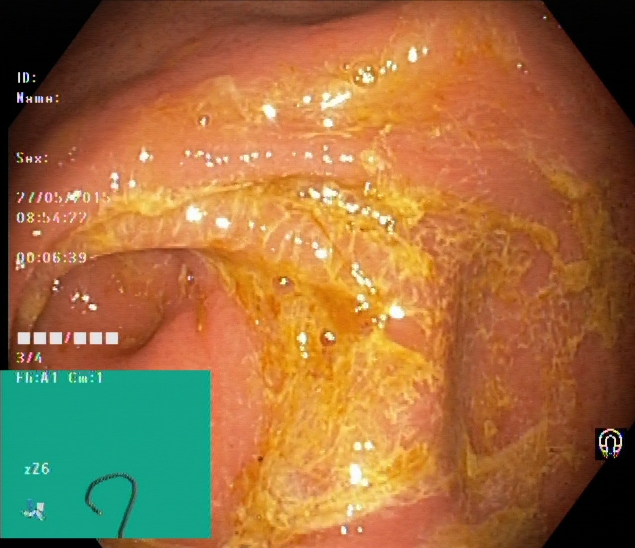modality: colonoscopy | tract: lower GI tract | finding: cecum